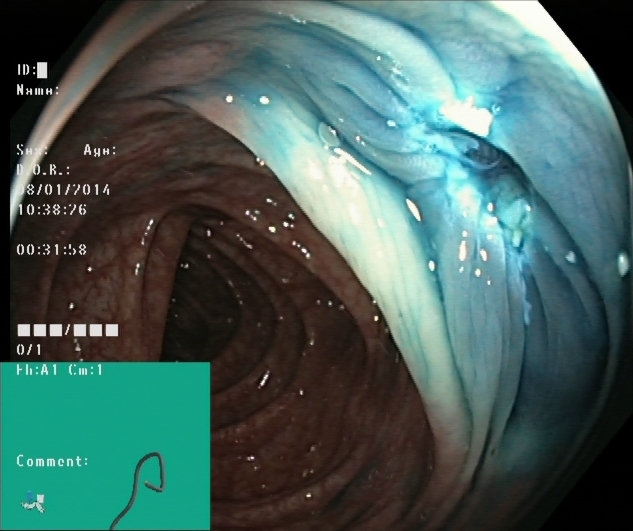dyed resection margins (post-polypectomy).